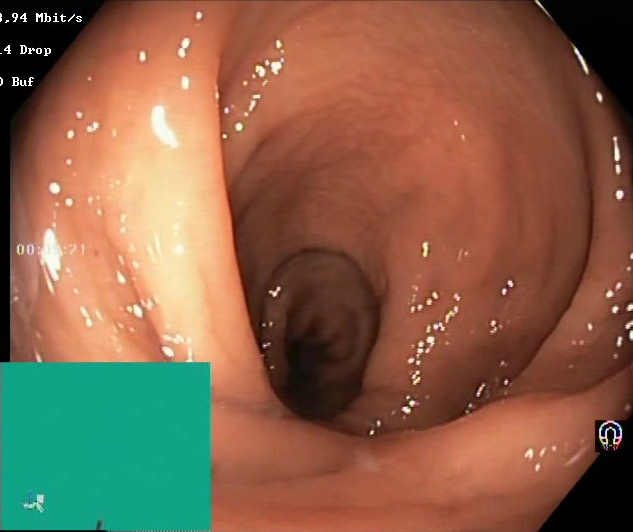Lower-GI endoscopy image showing BBPS score 2–3 (adequate preparation).